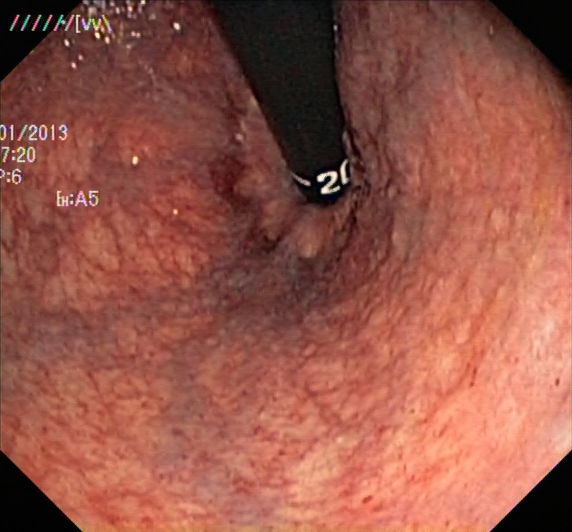PROCEDURE: Lower-GI endoscopy.
CATEGORY: Anatomical landmark.
FINDINGS: Rectum in retroflexion.